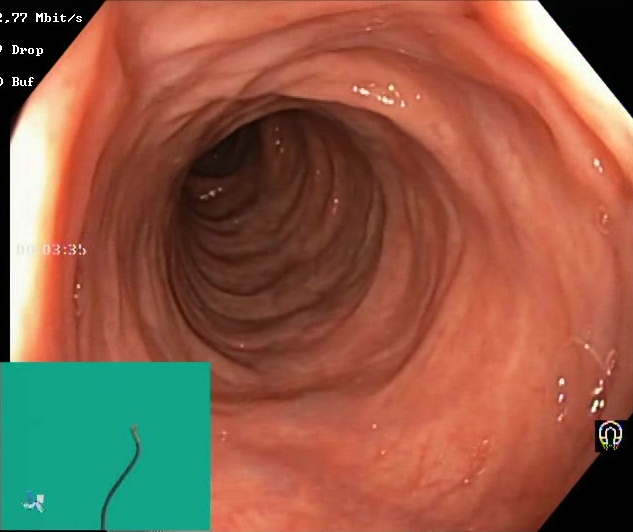Lower gastrointestinal endoscopy image of the lower GI tract showing BBPS score 2–3 (adequate preparation).